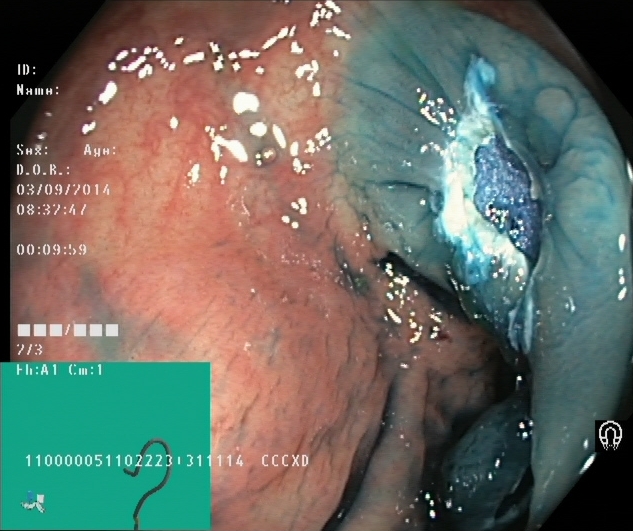Endoscopy image of the lower GI tract showing dyed resection margins (post-polypectomy).